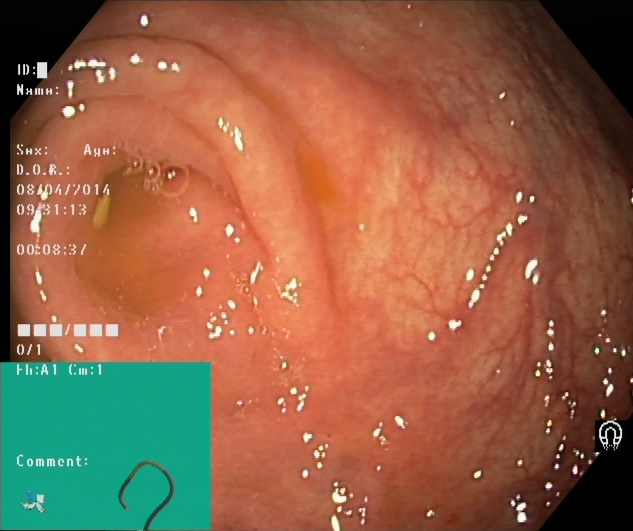{"modality": "lower gastrointestinal endoscopy", "category": "anatomical landmark", "finding": "cecum"}